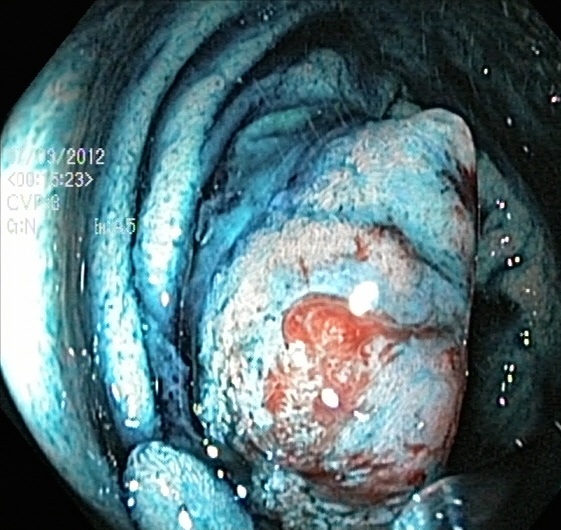Lower-GI endoscopy. Finding: dyed and lifted polyp (pre-resection).